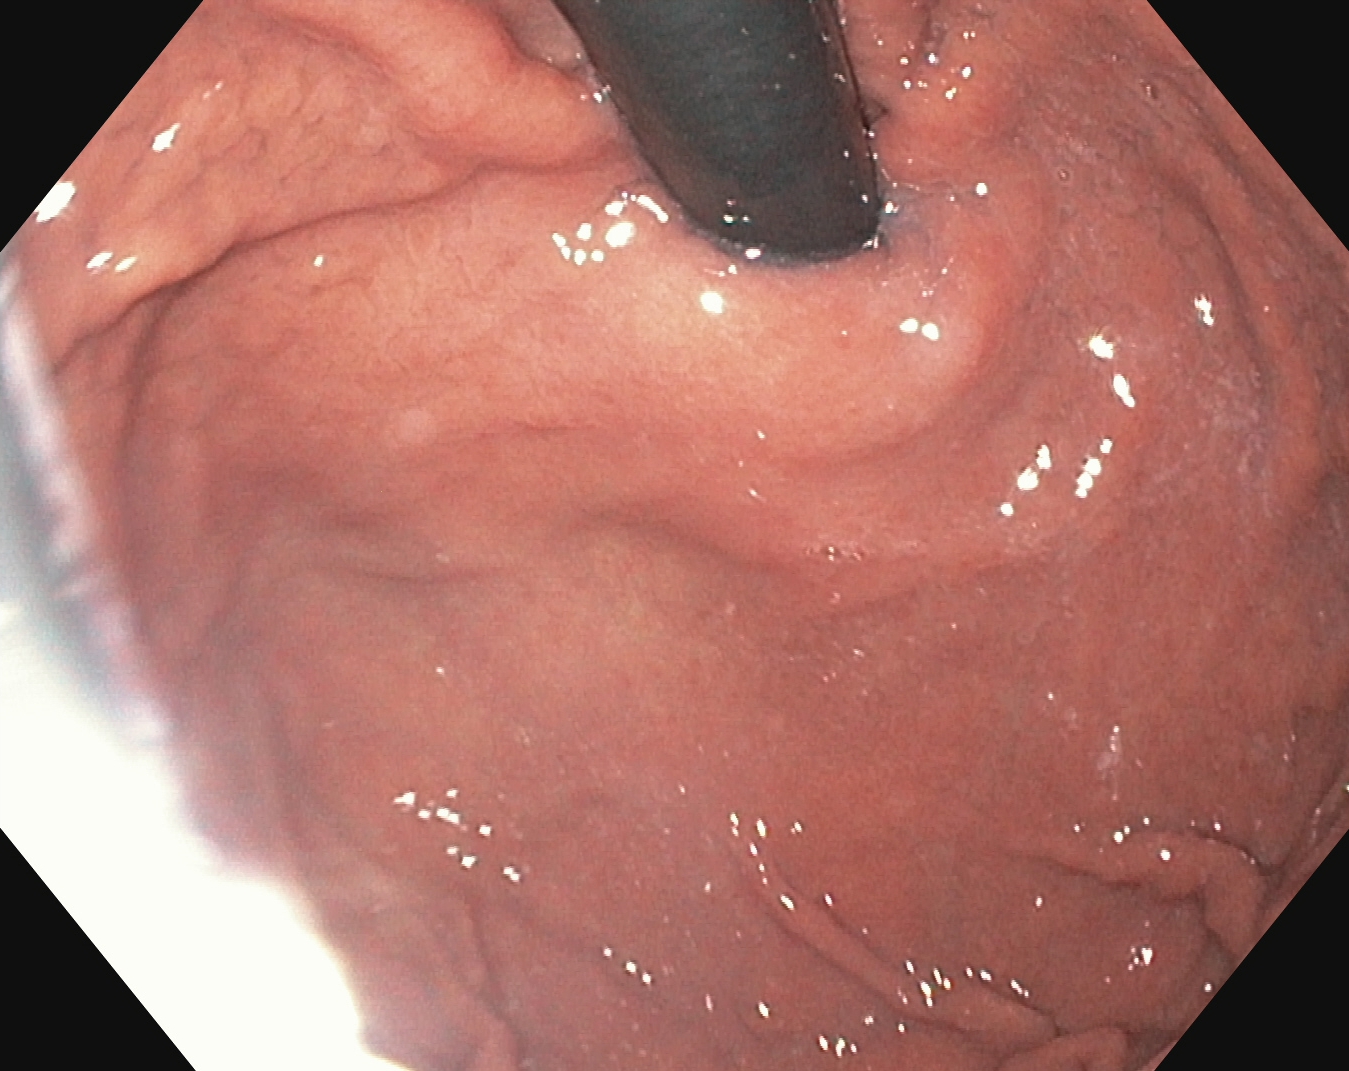modality: upper-GI endoscopy; tract: upper GI tract; finding: stomach in retroflexion